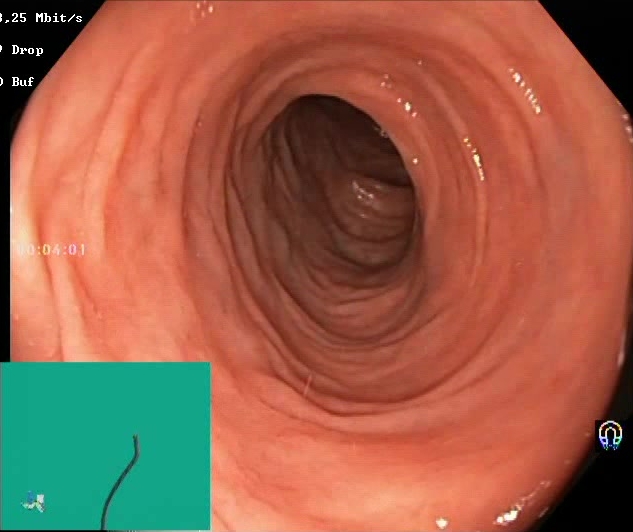Boston Bowel Preparation Scale score 2–3 (adequate preparation).